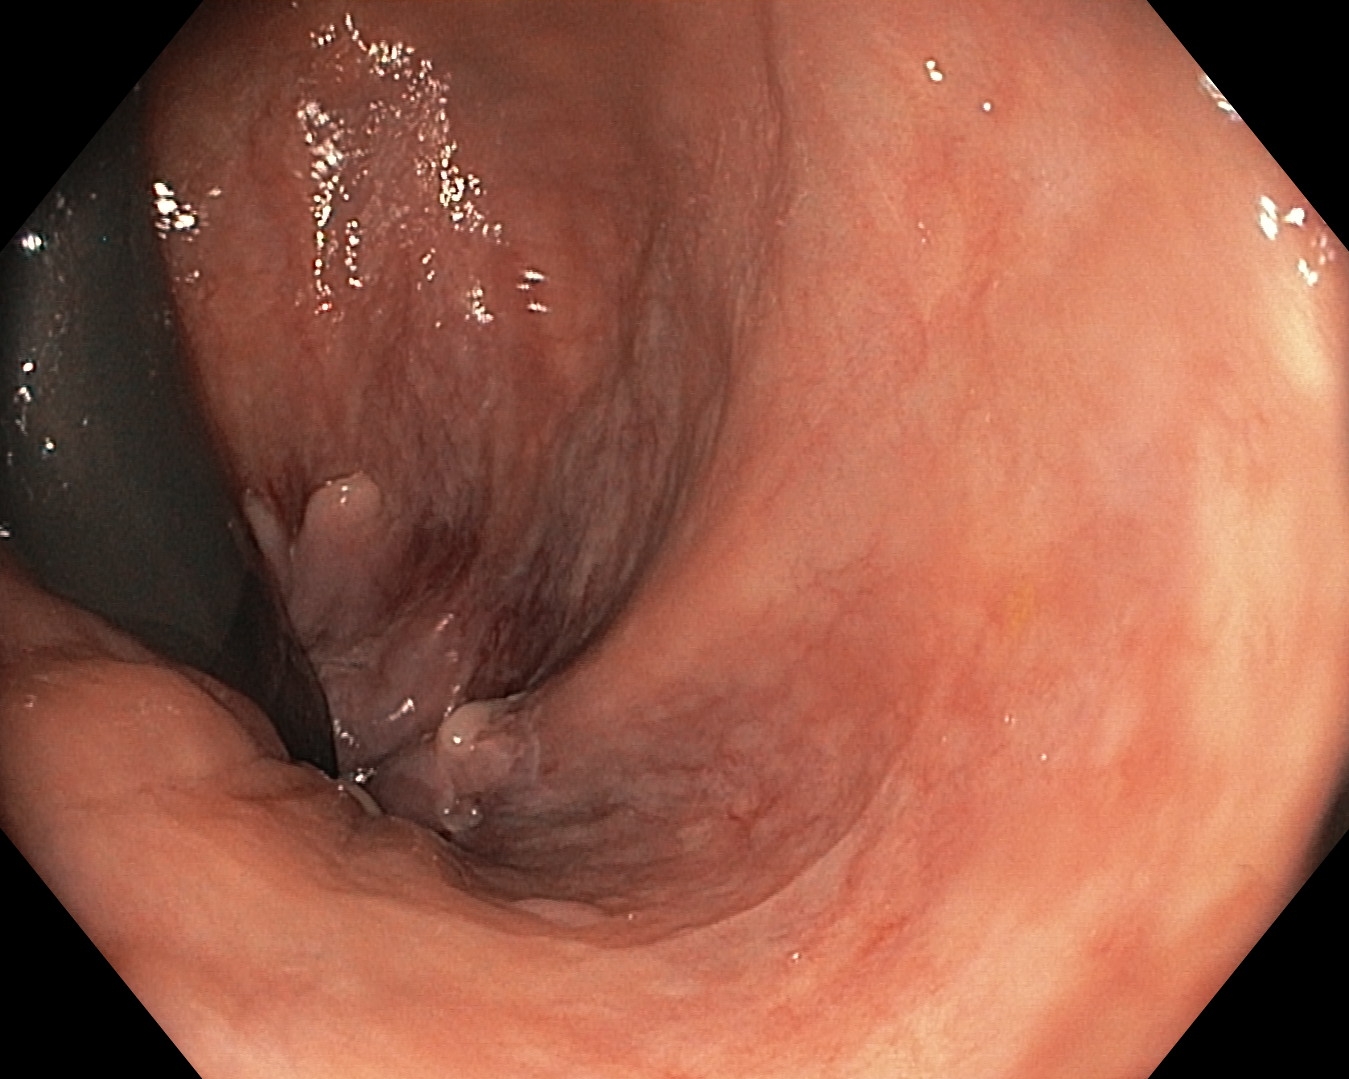{"modality": "lower-GI endoscopy", "tract": "lower GI tract", "category": "anatomical landmark", "finding": "rectum in retroflexion"}